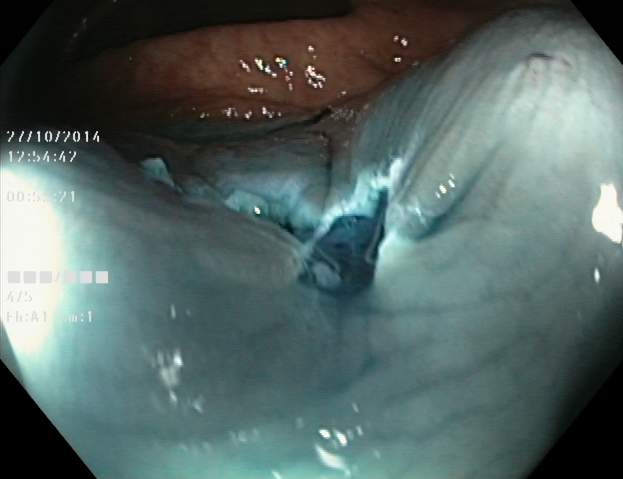Dyed resection margins (post-polypectomy).